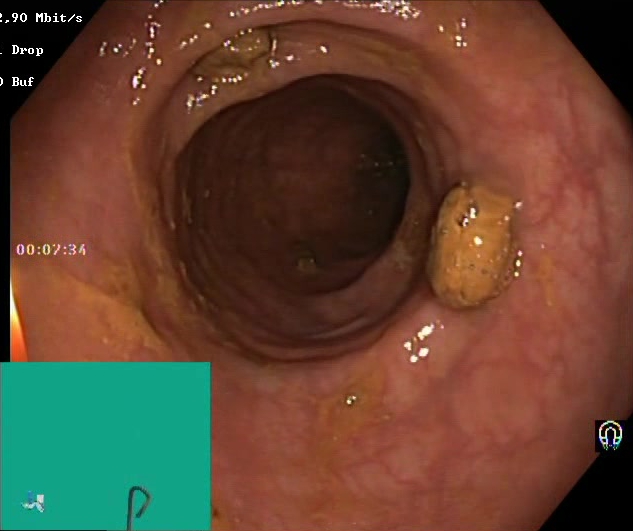PROCEDURE: Lower-GI endoscopy.
FINDINGS: Impacted stool.